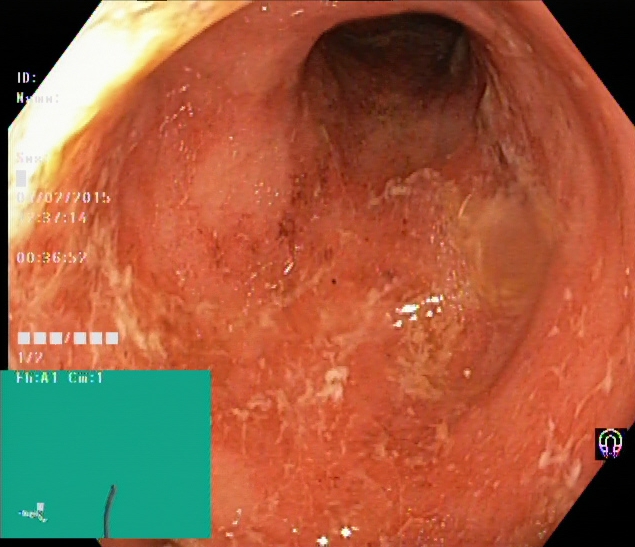modality: colonoscopy | tract: lower GI tract | category: pathological finding | finding: ulcerative colitis, Mayo endoscopic subscore 2